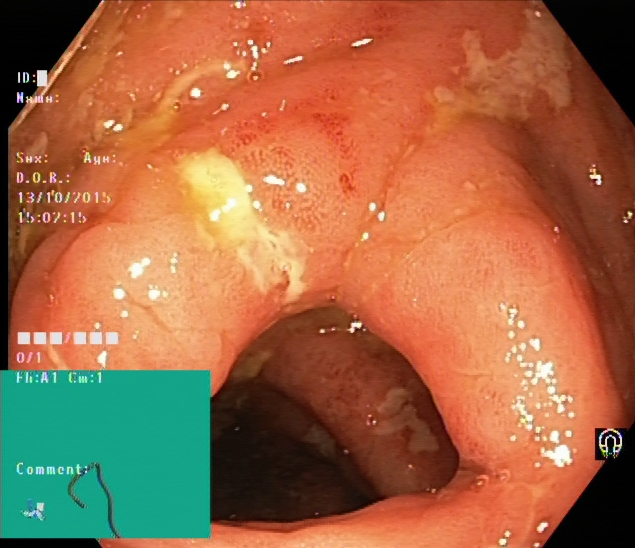Colonoscopy image of the lower GI tract showing UC, Mayo endoscopic subscore 2–3.